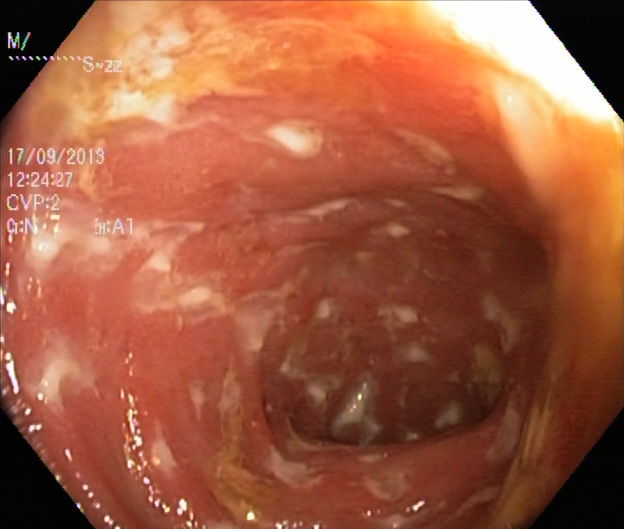PROCEDURE: Lower gastrointestinal endoscopy.
CATEGORY: Pathological finding.
FINDINGS: UC, Mayo endoscopic subscore 2.